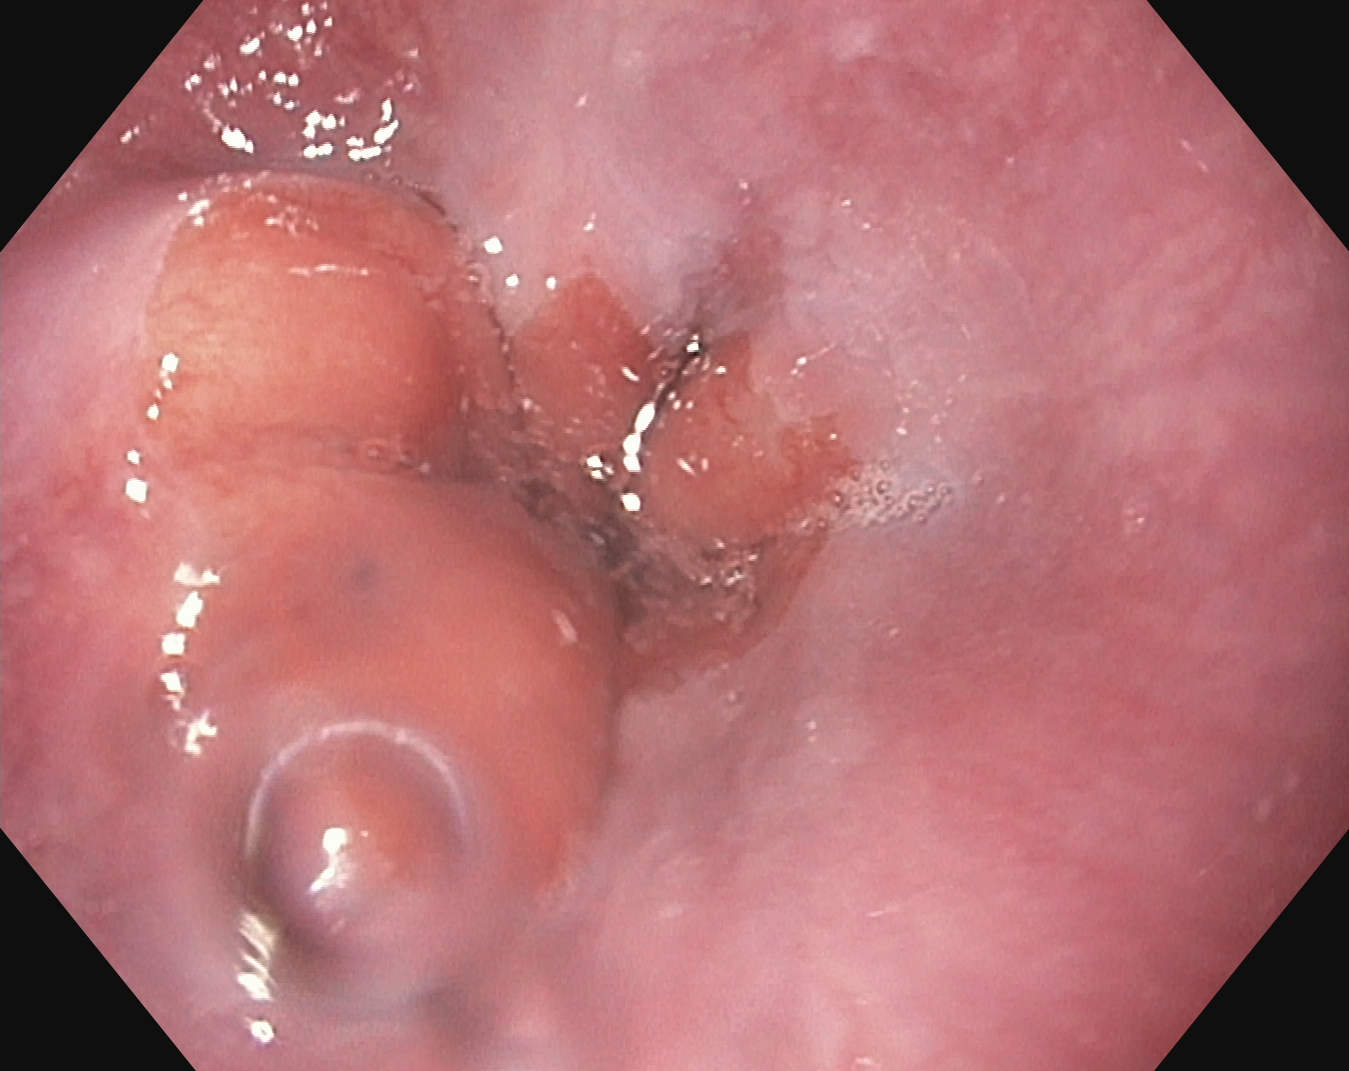This endoscopic image of the upper GI tract shows Z-line (gastroesophageal junction).